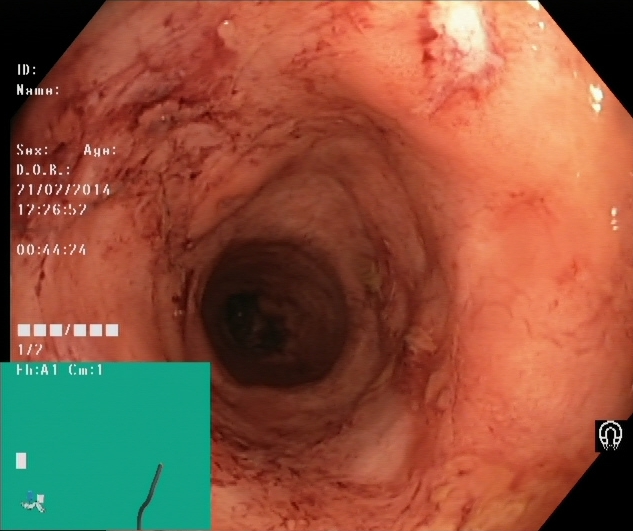modality: lower gastrointestinal endoscopy
category: pathological finding
finding: ulcerative colitis, Mayo endoscopic subscore 2